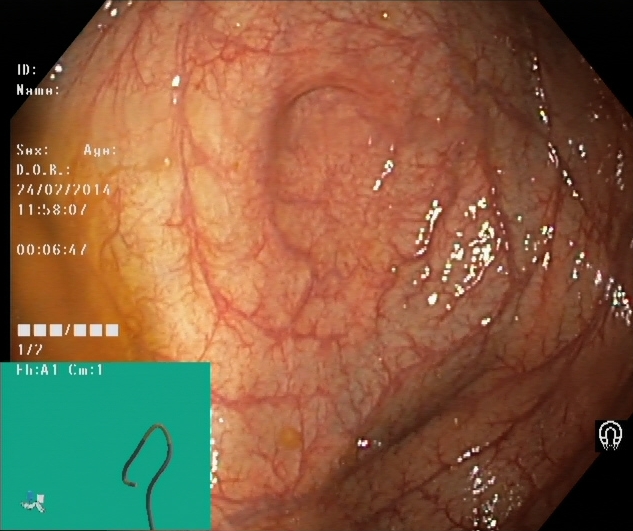Lower gastrointestinal endoscopy. Tract: lower GI tract. Anatomical landmark. Finding: cecum.